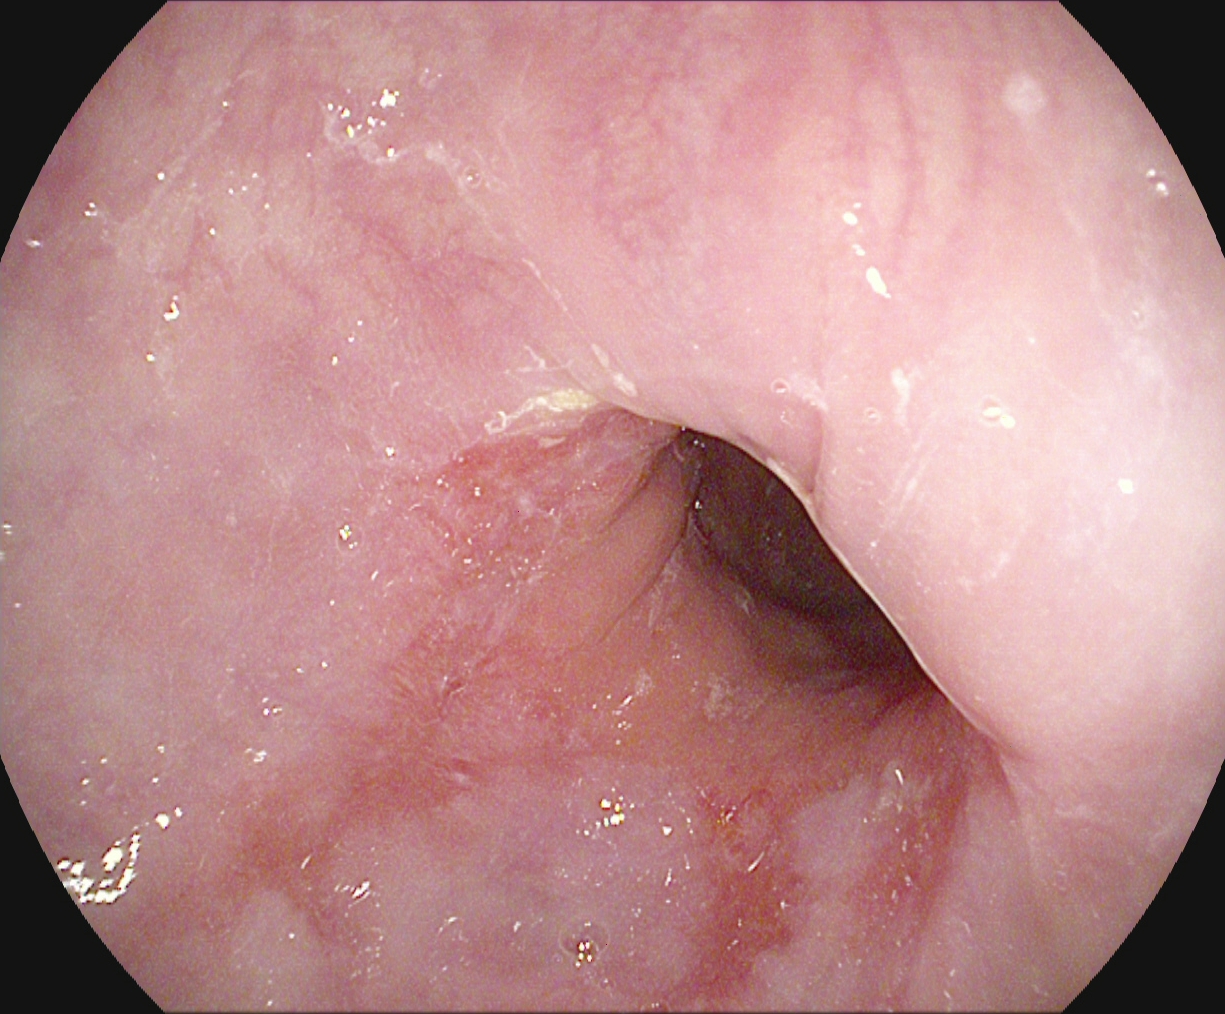PROCEDURE: Gastroscopy.
FINDINGS: Reflux esophagitis, LA grade B–D.